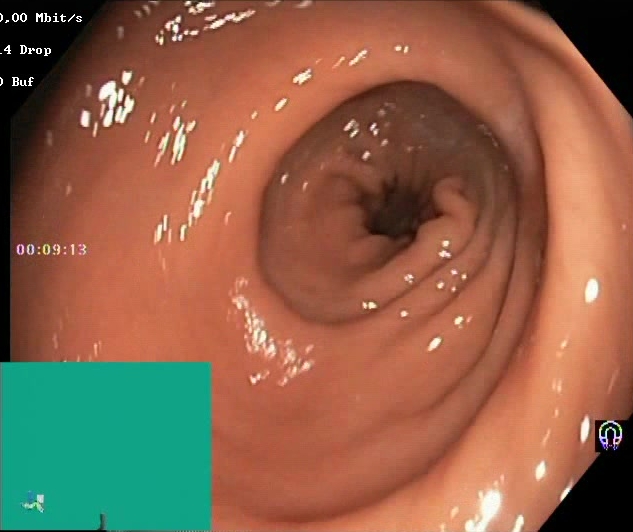Lower-GI endoscopy image showing Boston Bowel Preparation Scale score 2–3 (adequate preparation).